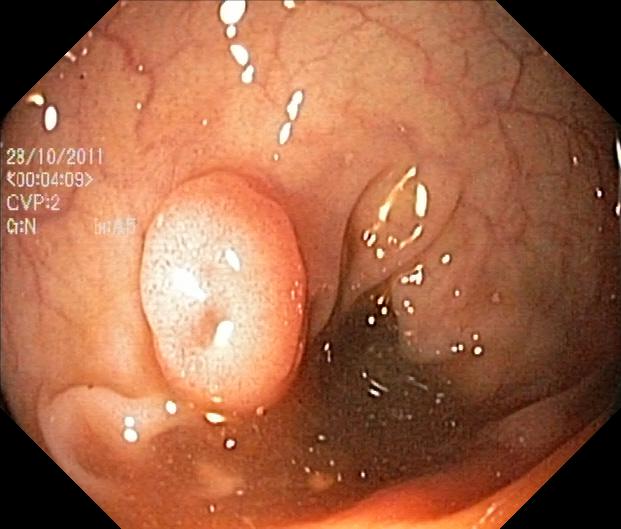Colorectal polyp(s).